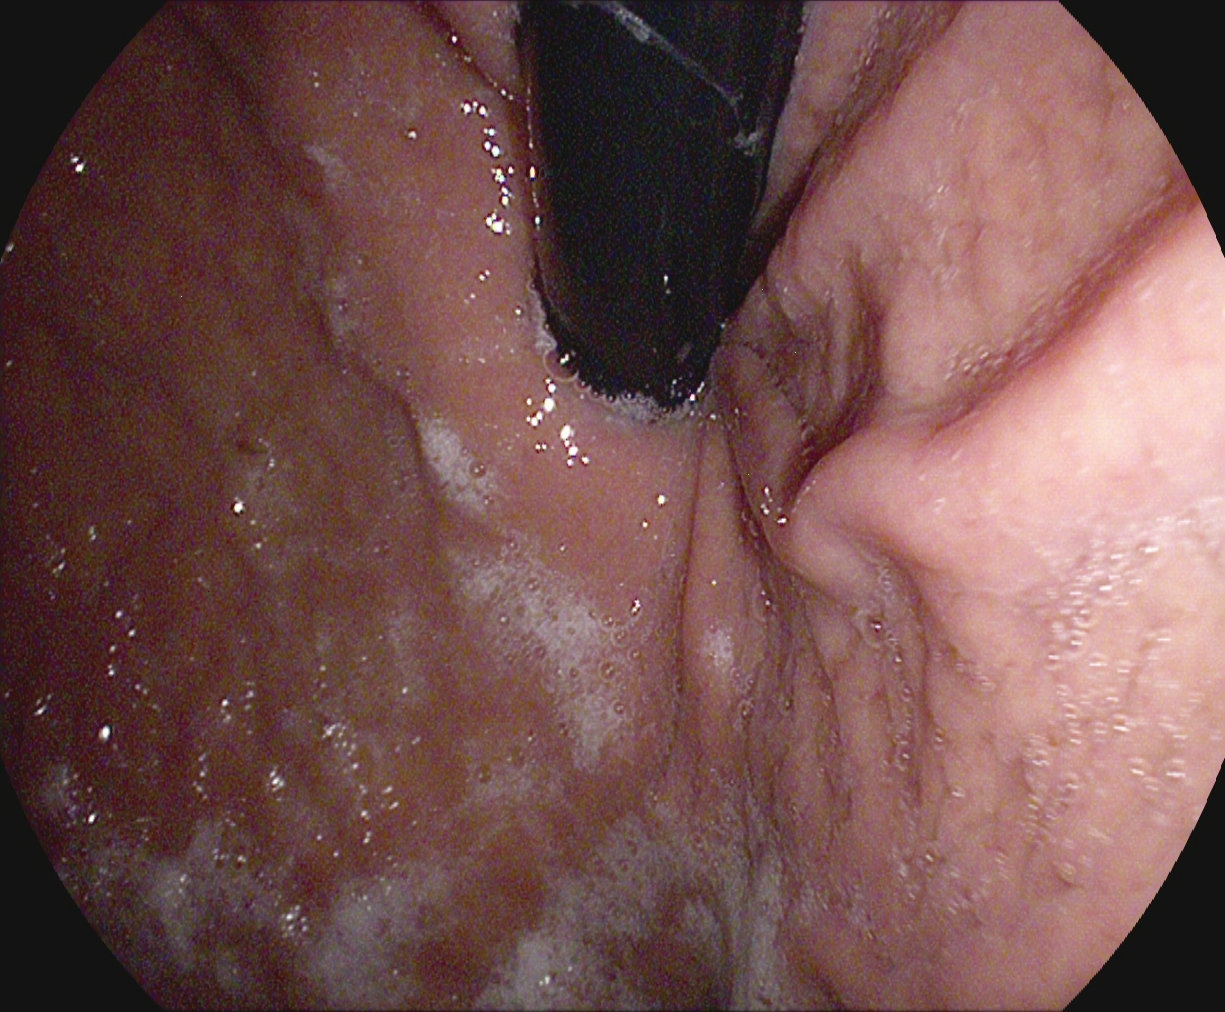Gastroscopy. Finding: stomach in retroflexion.